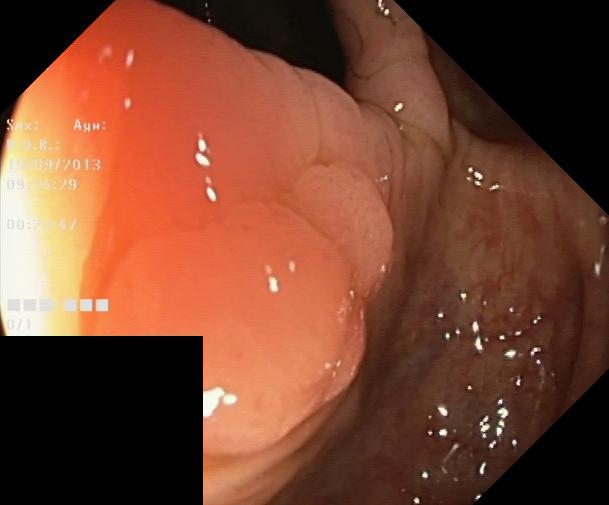modality: lower-GI endoscopy
tract: lower GI tract
category: pathological finding
finding: colorectal polyp(s)